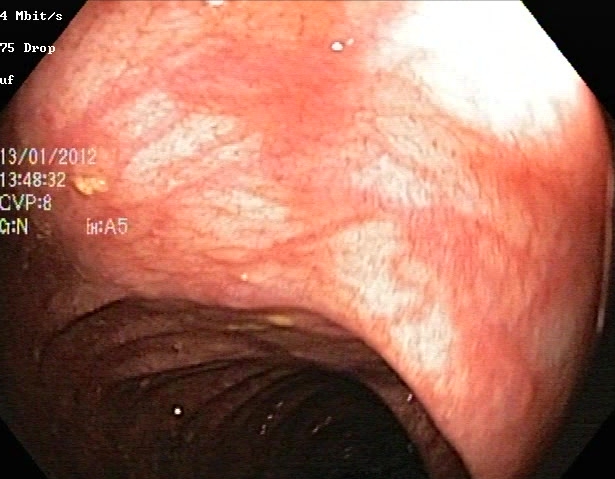Endoscopic image of the lower GI tract showing ulcerative colitis, Mayo endoscopic subscore 1.